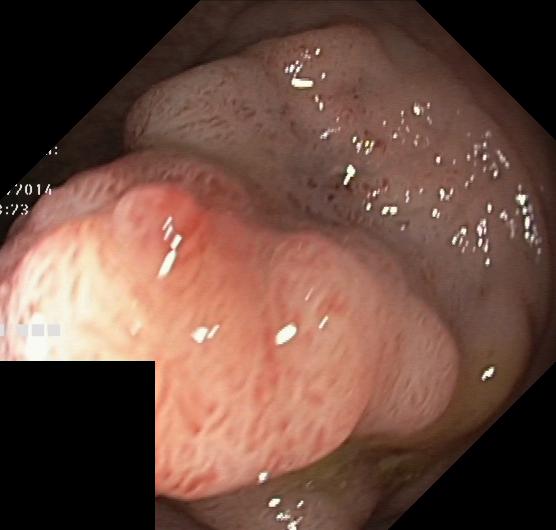PROCEDURE: Colonoscopy.
FINDINGS: Colorectal polyp(s).